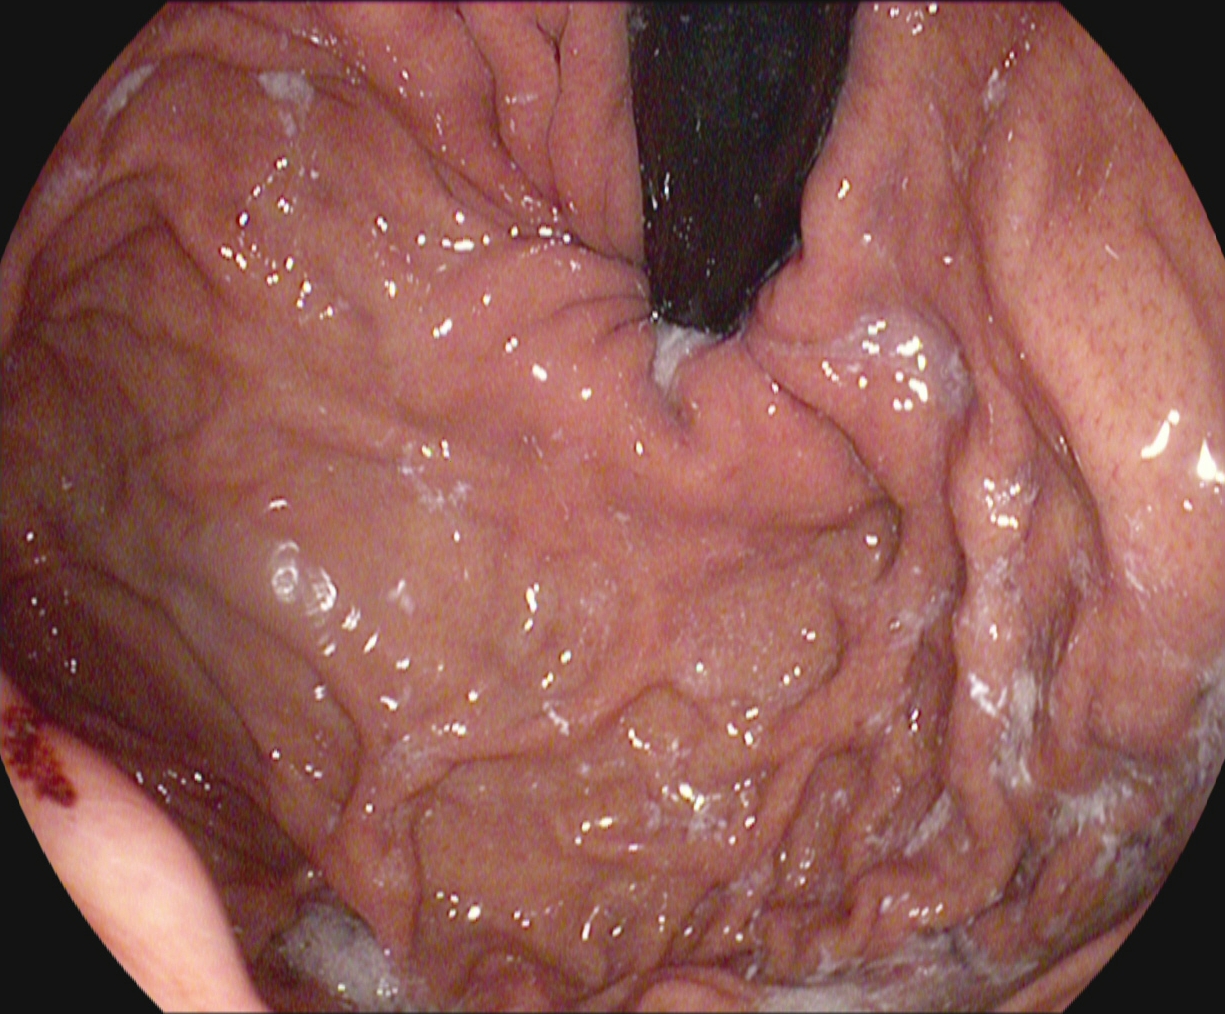This endoscopic image shows stomach in retroflexion.